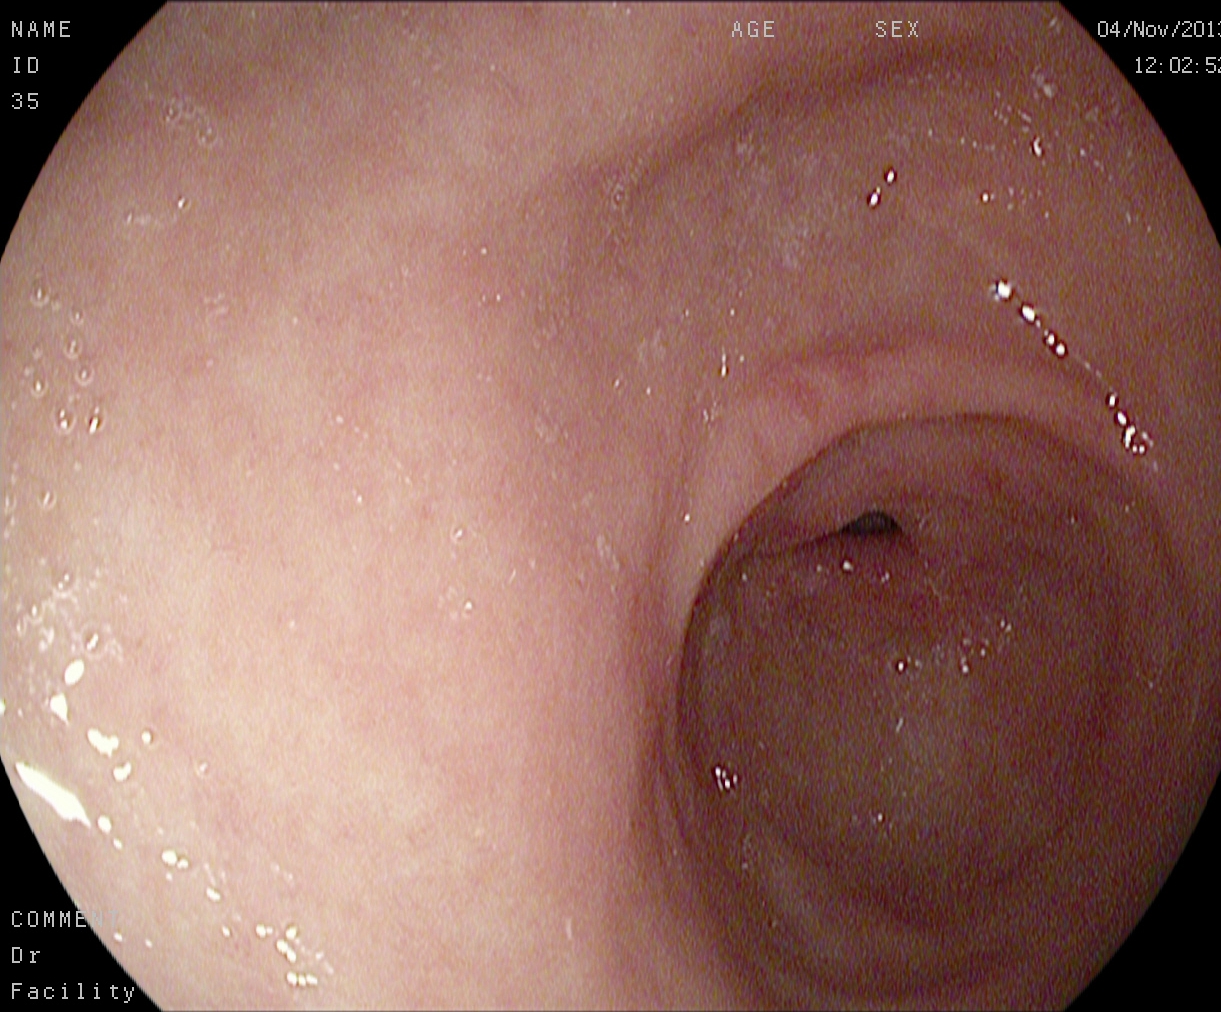pylorus.